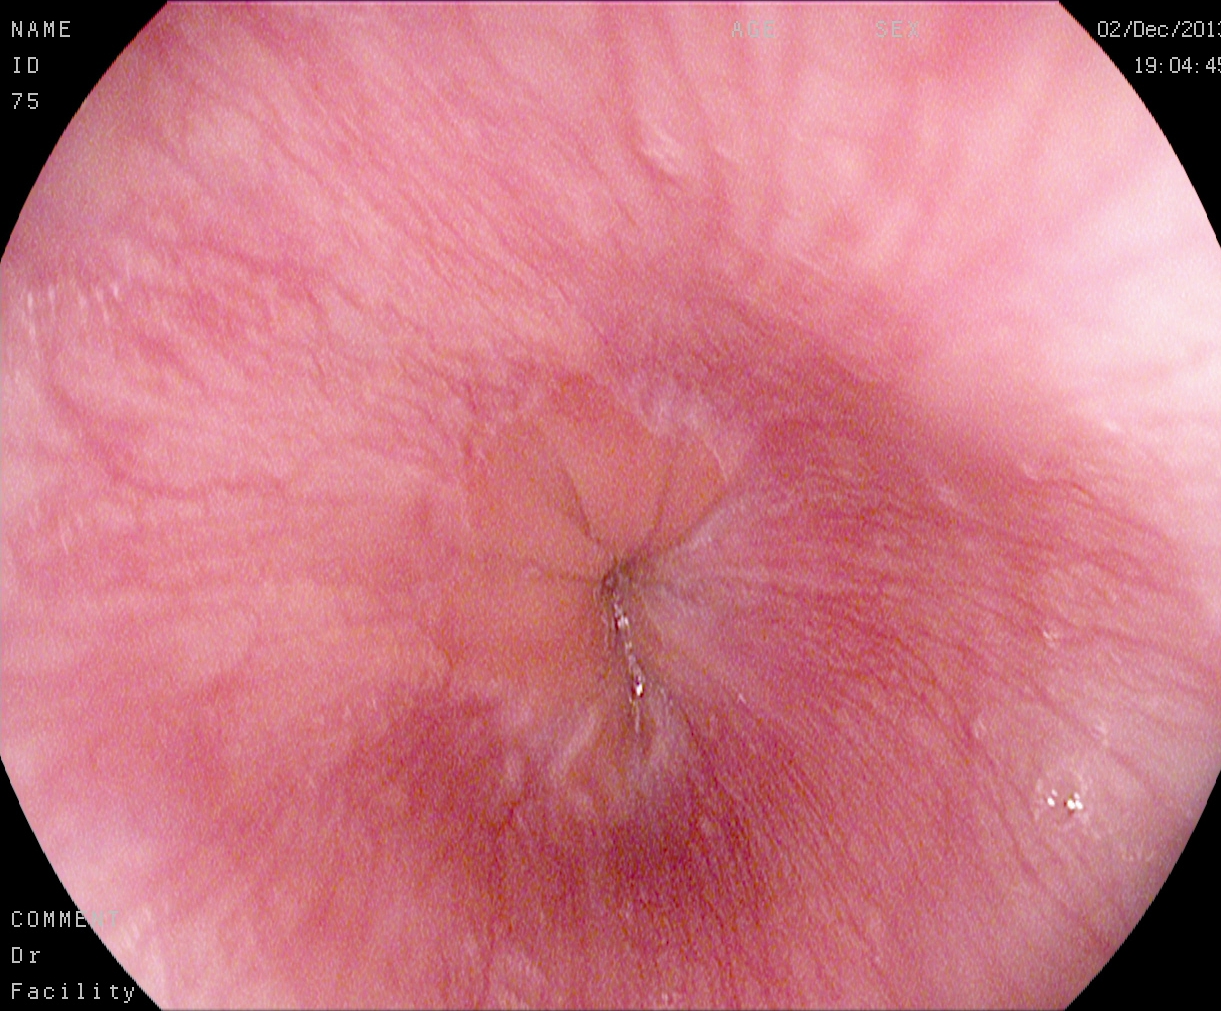Esophagogastroduodenoscopy. Tract: upper GI tract. Finding: Z-line (gastroesophageal junction).